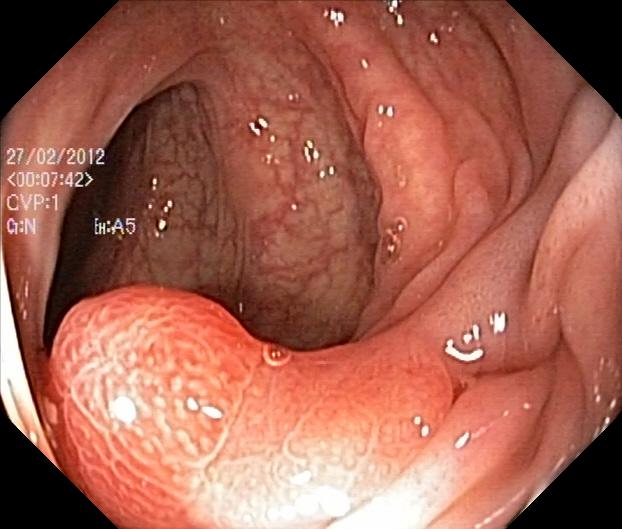This endoscopic image of the lower GI tract shows colorectal polyp(s).